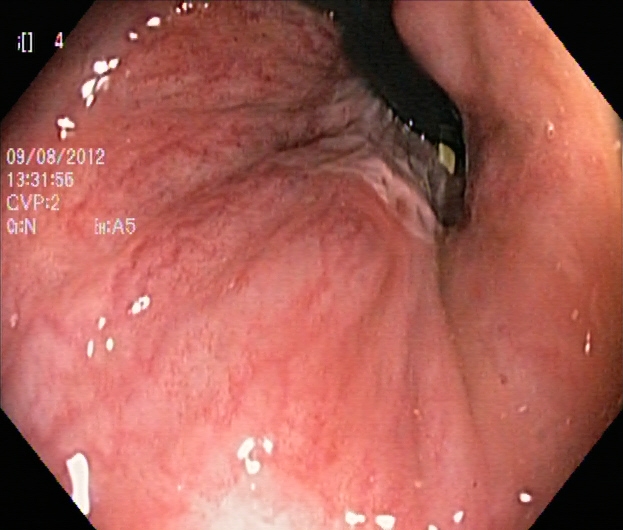Gastrointestinal endoscopy image showing rectum in retroflexion.